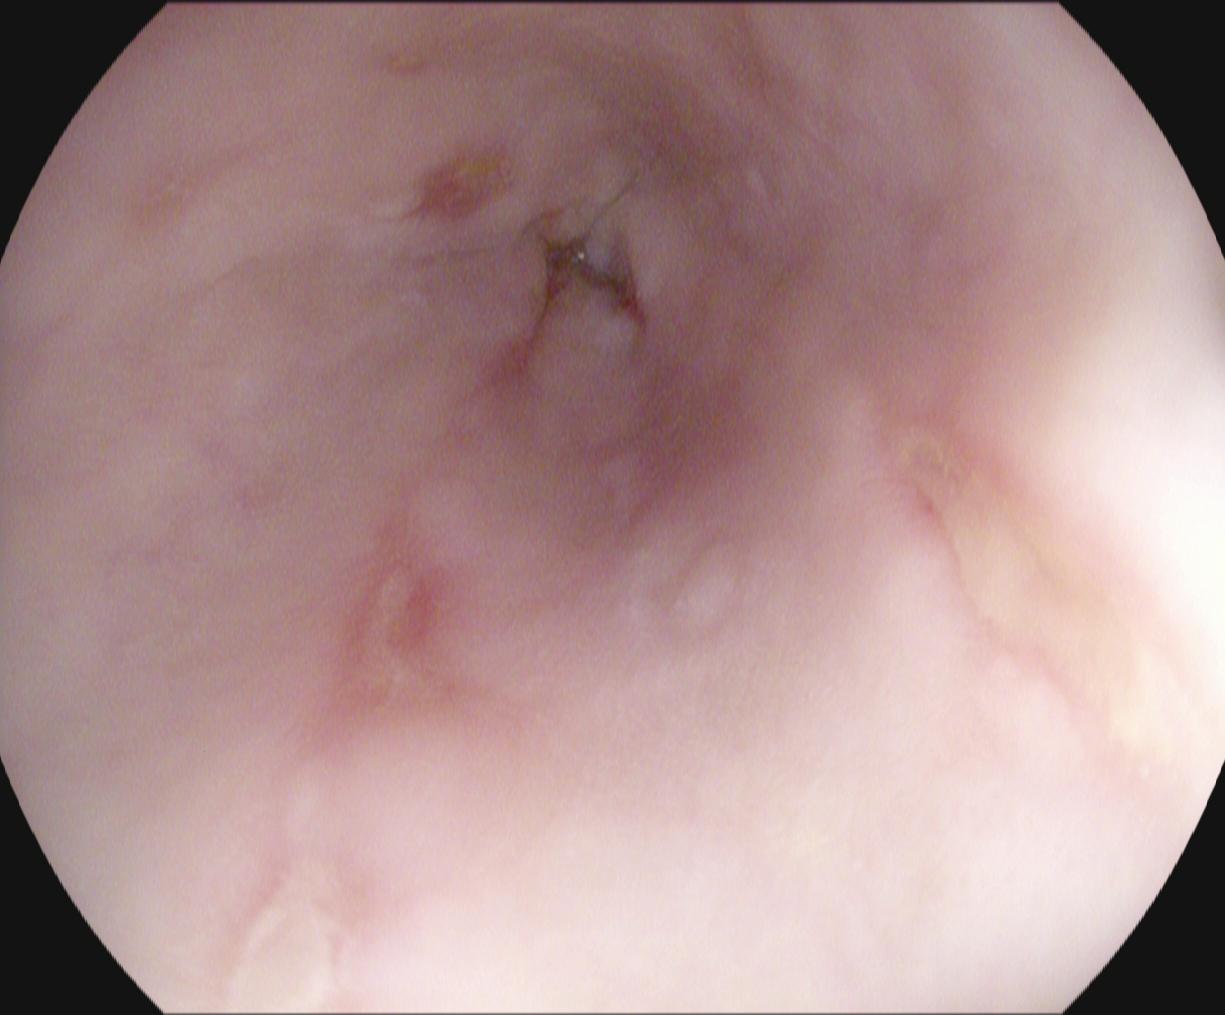This endoscopy frame of the upper GI tract shows reflux esophagitis, Los Angeles grade A.